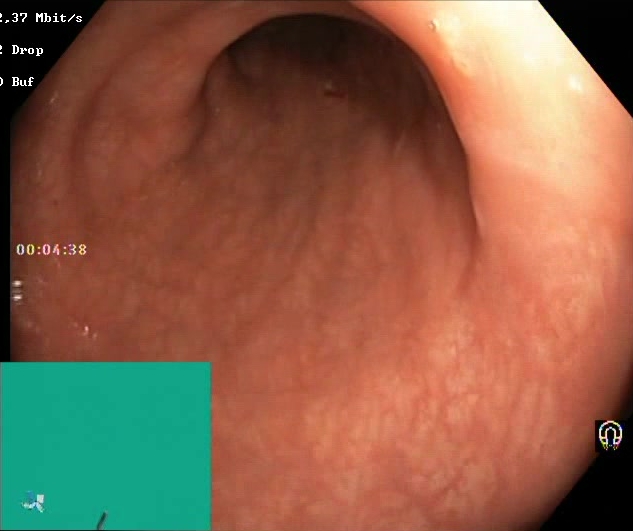Lower-GI endoscopy. Tract: lower GI tract. Finding: Boston Bowel Preparation Scale score 2–3 (adequate preparation).